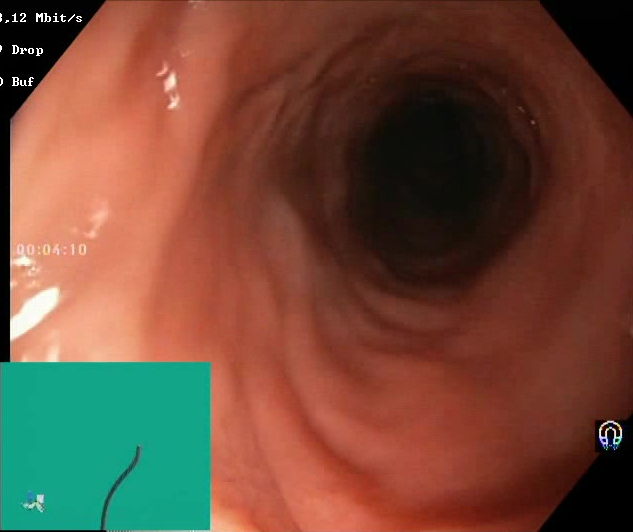PROCEDURE: Lower gastrointestinal endoscopy.
FINDINGS: Boston Bowel Preparation Scale score 2–3 (adequate preparation).